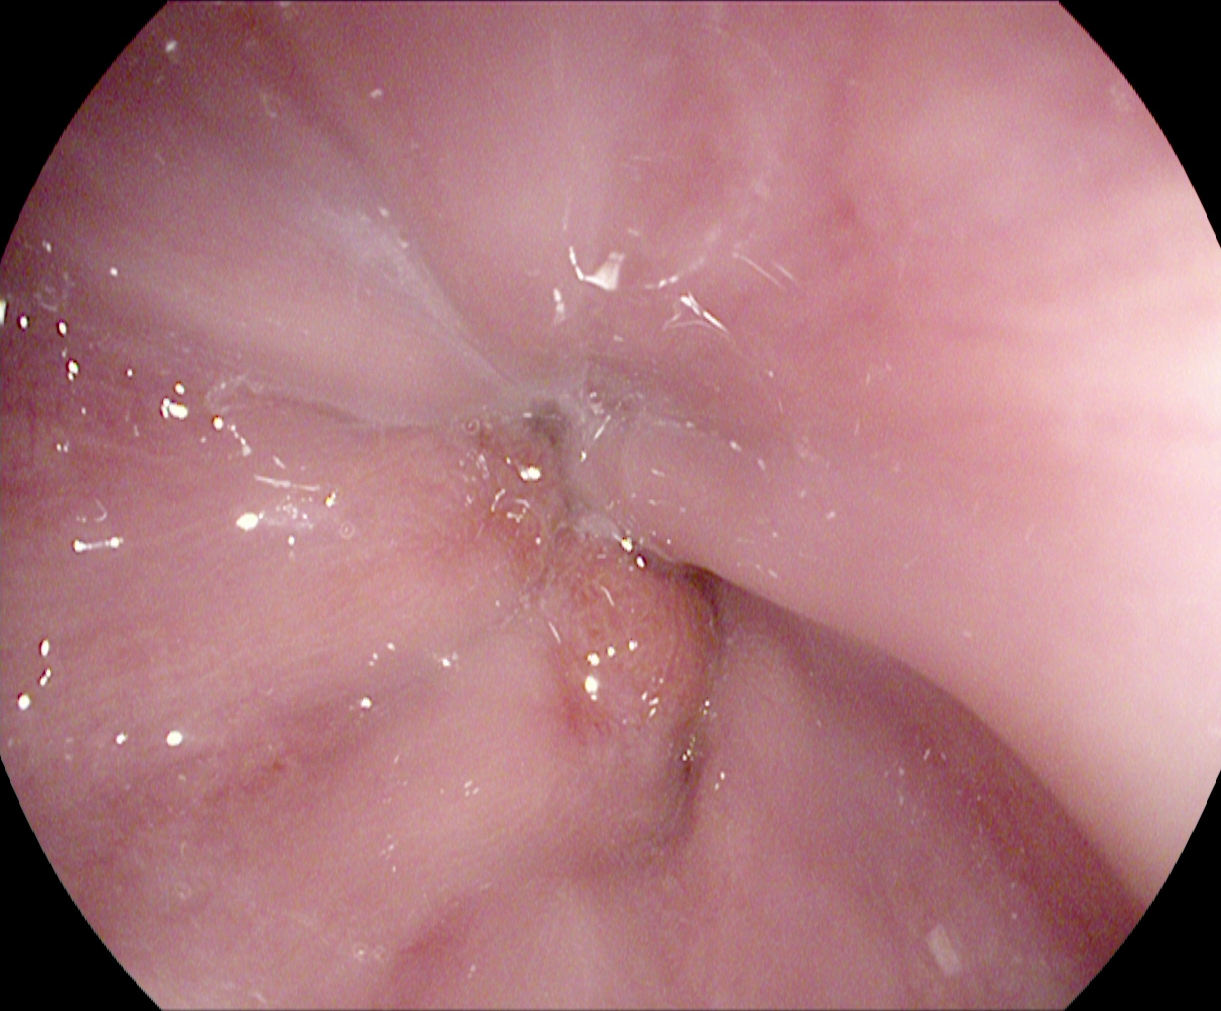Z-line (gastroesophageal junction).